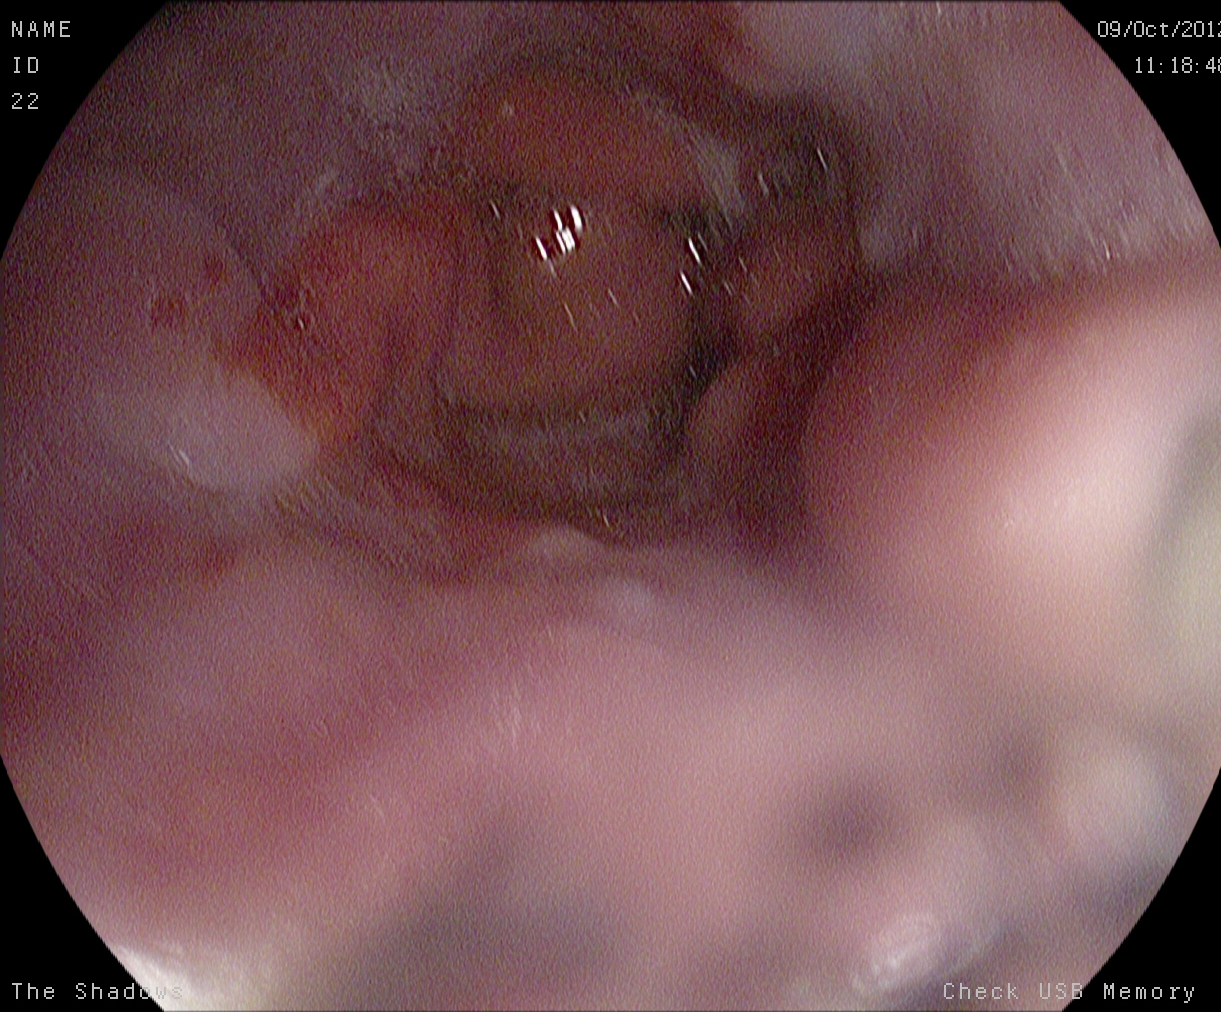PROCEDURE: Upper-GI endoscopy.
FINDINGS: Z-line (gastroesophageal junction).